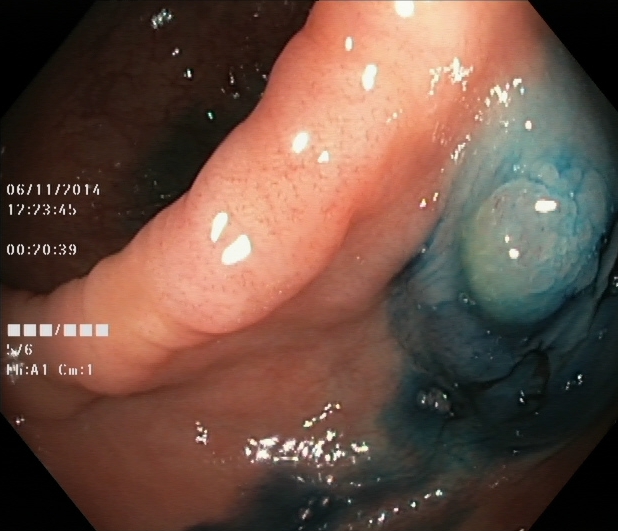Endoscopy image of the lower GI tract showing dyed and lifted polyp (pre-resection).